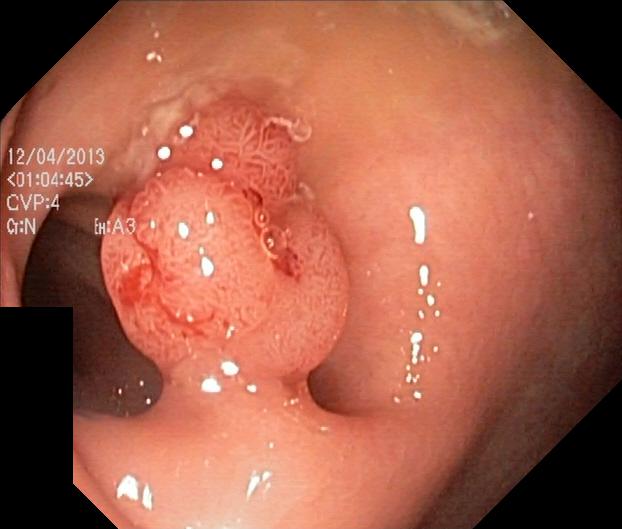colorectal polyp(s).